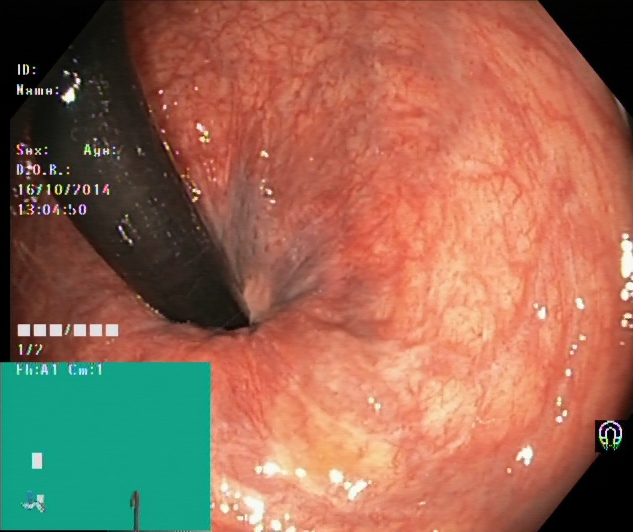Rectum in retroflexion.